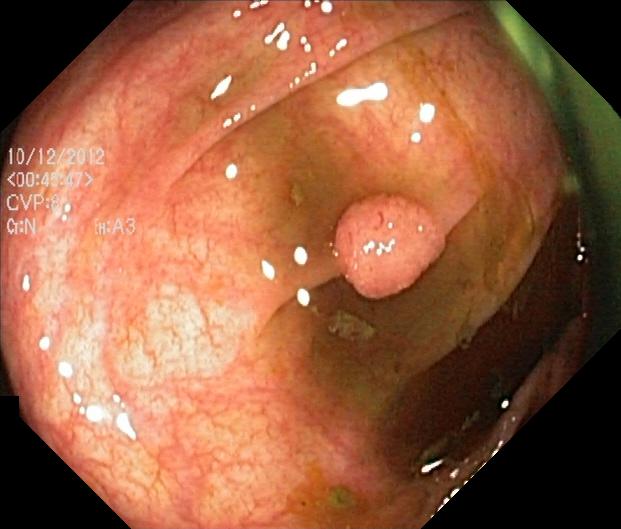{"modality": "lower-GI endoscopy", "finding": "colorectal polyp(s)"}